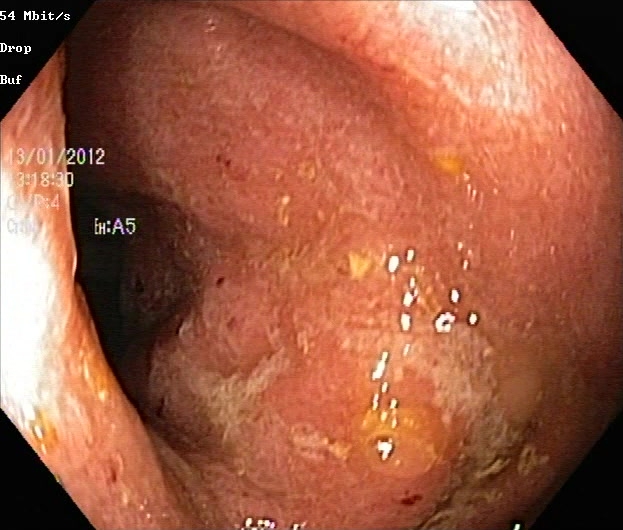PROCEDURE: Lower-GI endoscopy.
FINDINGS: Ulcerative colitis, Mayo endoscopic subscore 2.